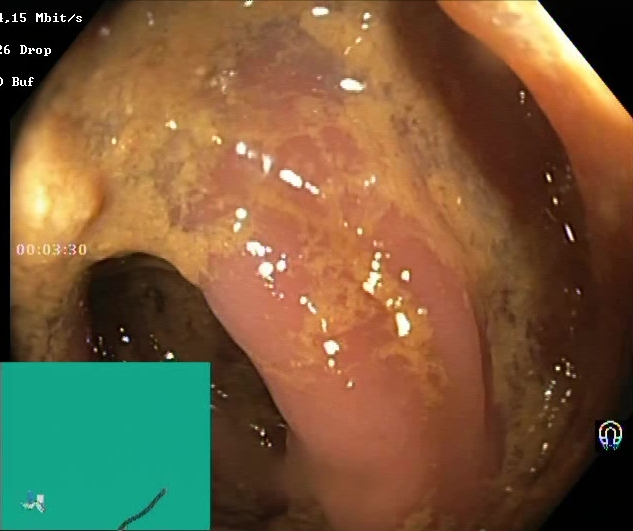This endoscopic image shows BBPS score 0–1 (inadequate preparation).